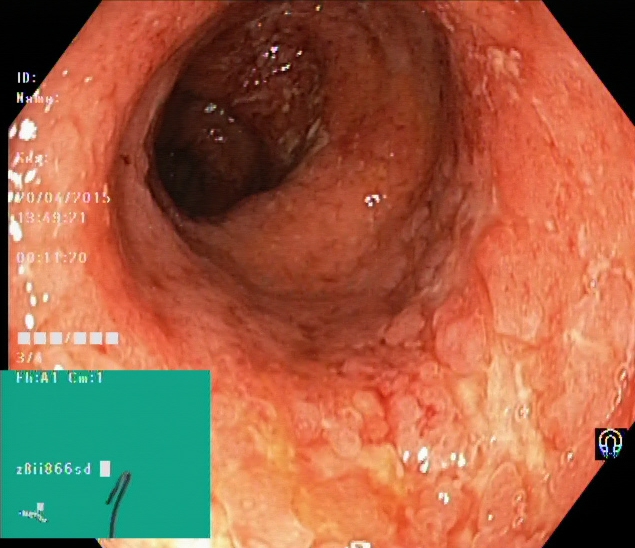Colonoscopy. Tract: lower GI tract. Finding: UC, Mayo endoscopic subscore 3.